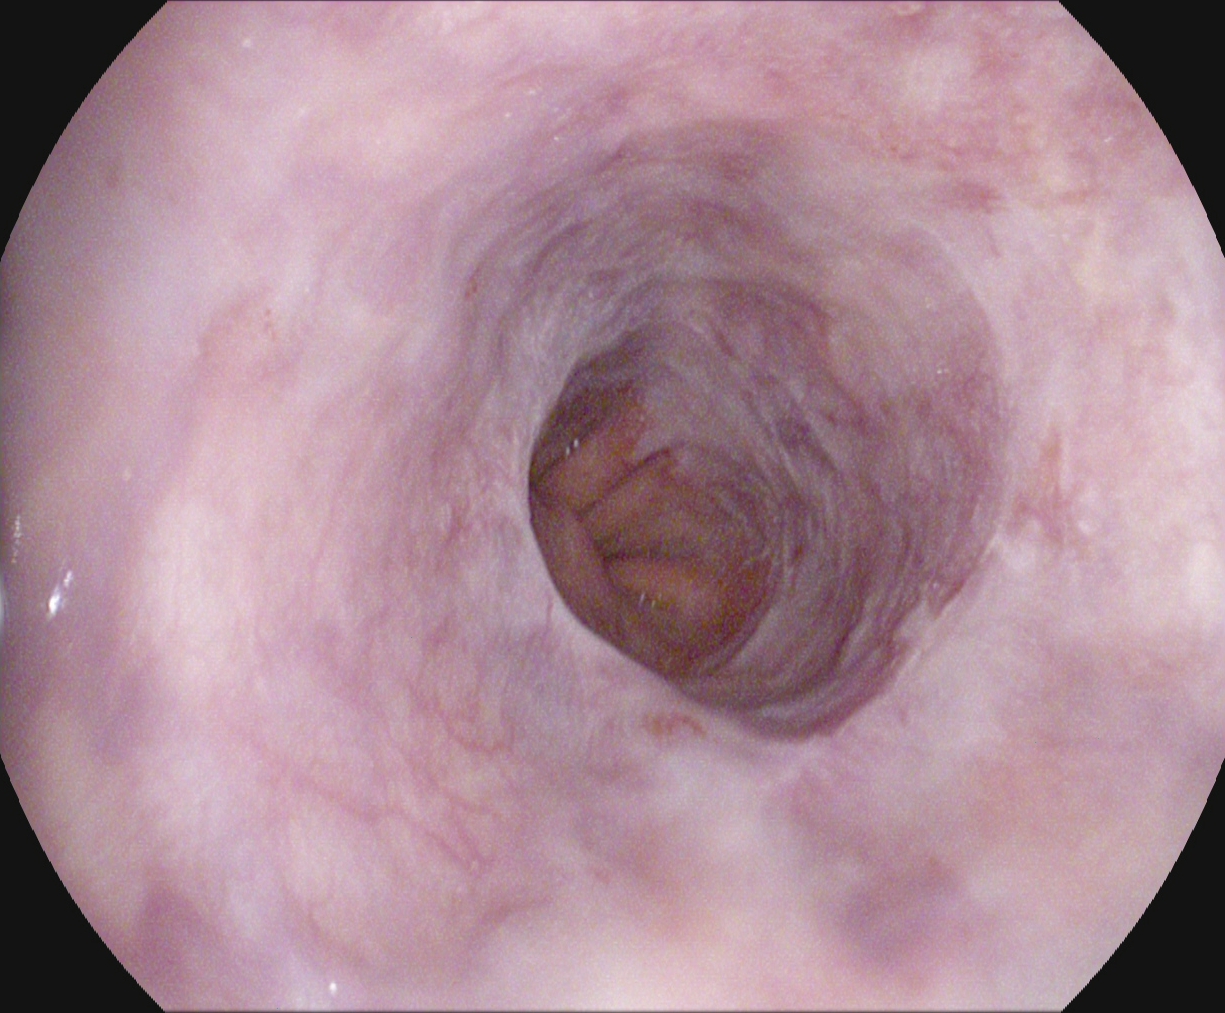PROCEDURE: Gastroscopy.
CATEGORY: Anatomical landmark.
FINDINGS: Z-line (gastroesophageal junction).